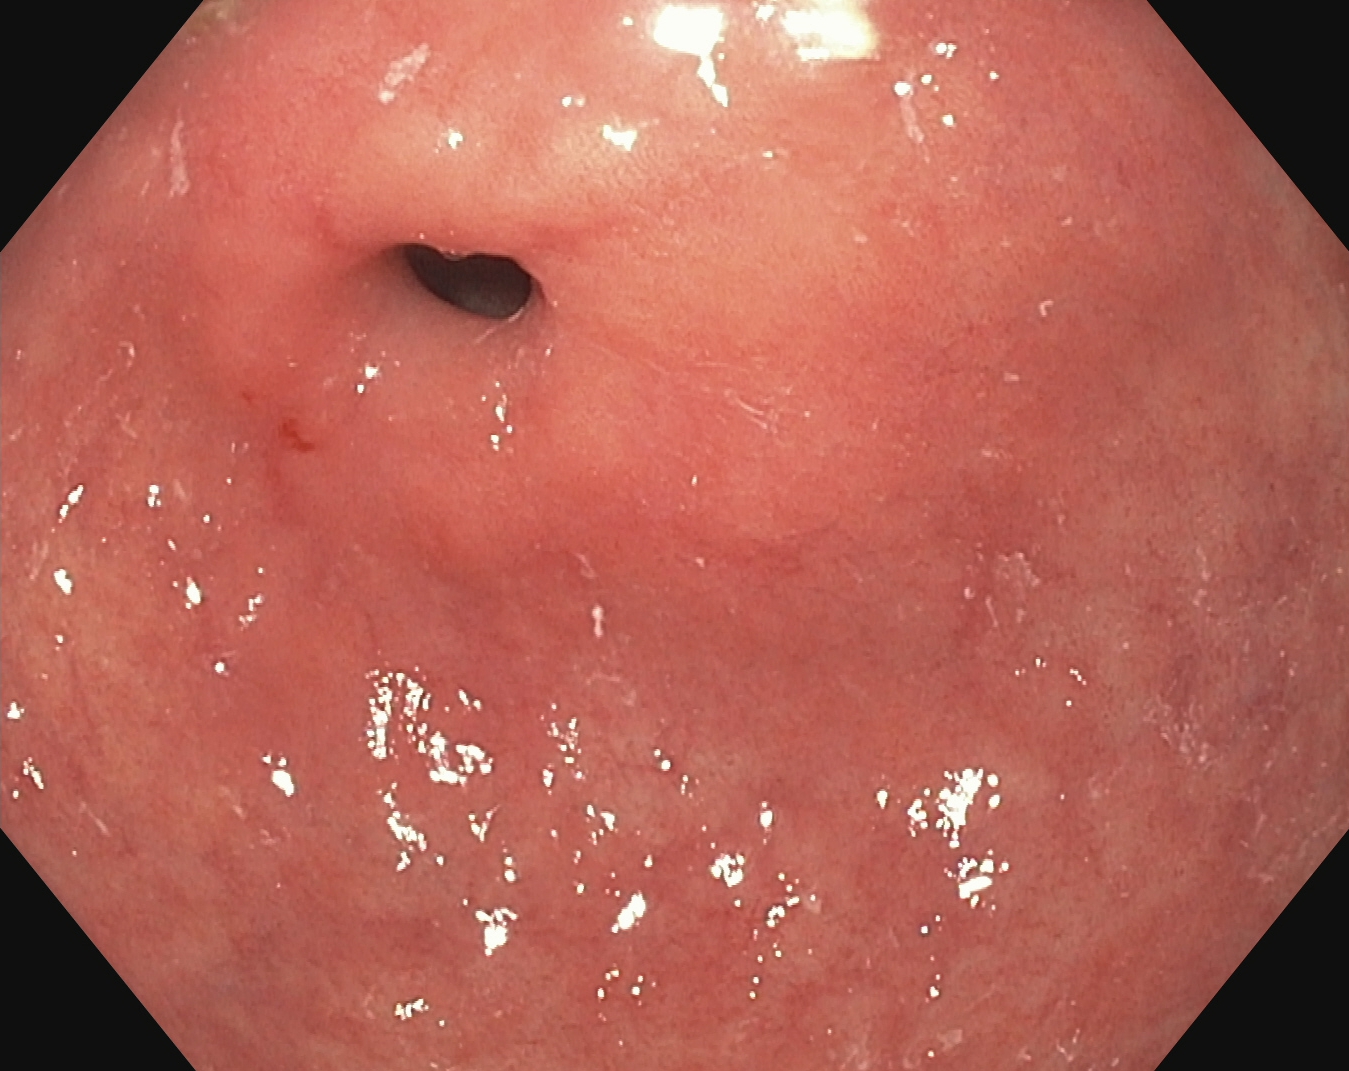{"modality": "EGD", "tract": "upper GI tract", "finding": "pylorus"}